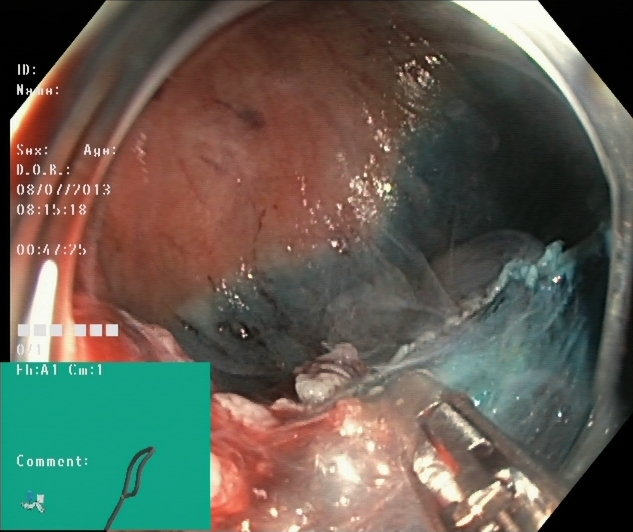Lower-GI endoscopy. Tract: lower GI tract. Finding: dyed resection margins (post-polypectomy).